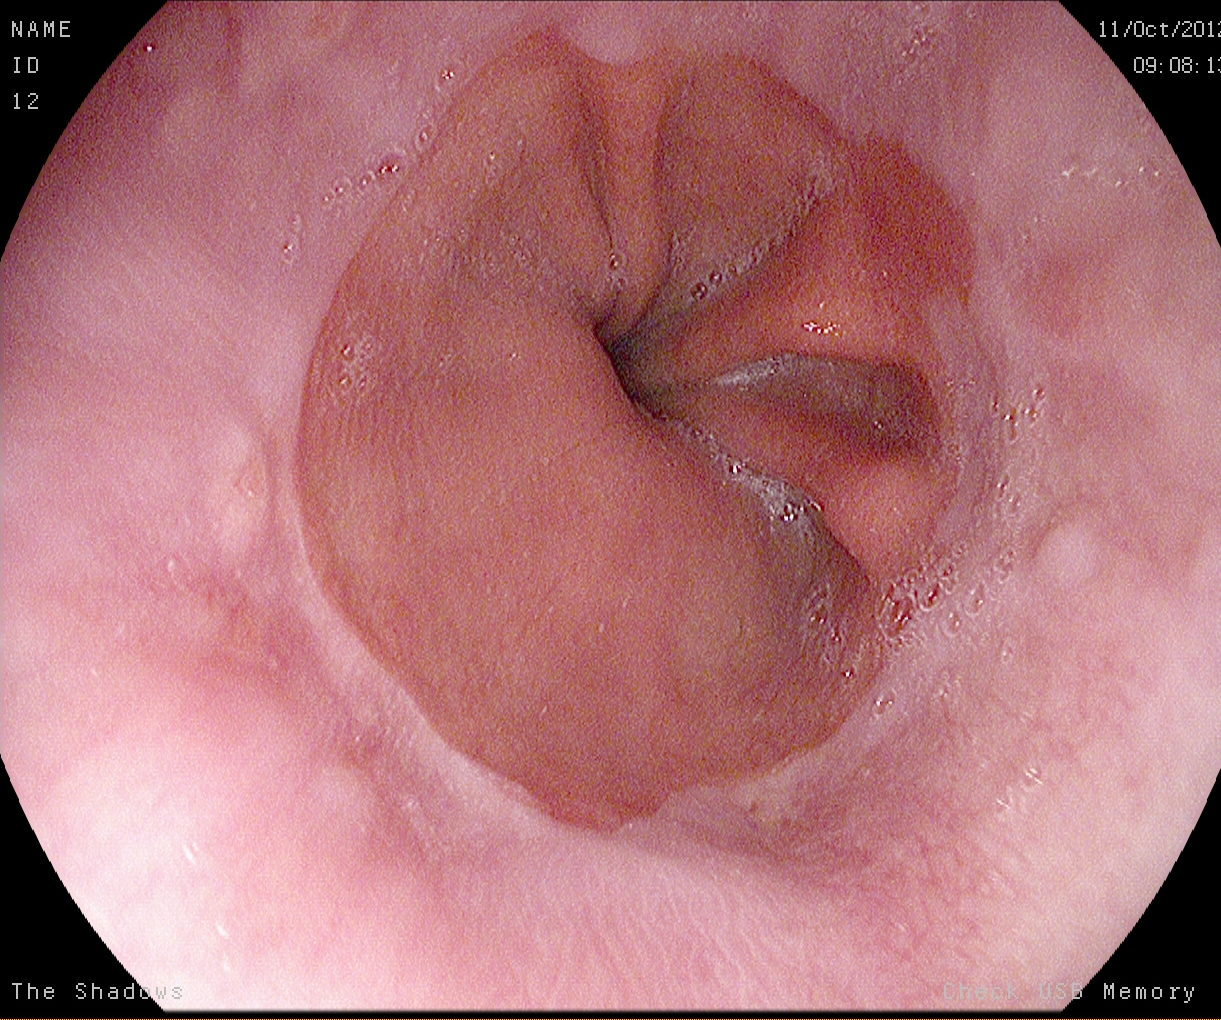{"modality": "gastroscopy", "tract": "upper GI tract", "finding": "reflux esophagitis, LA grade A"}